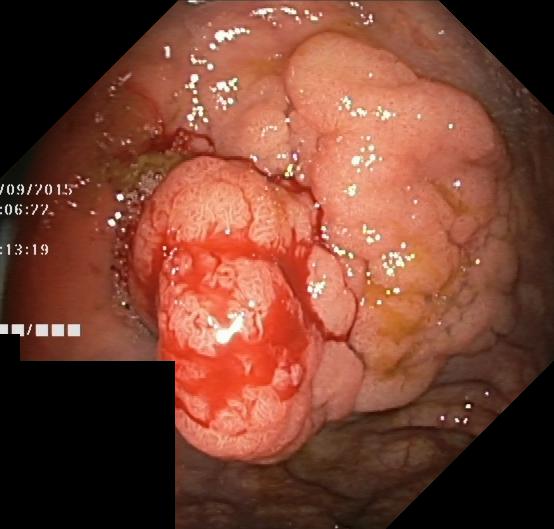This endoscopy frame shows colorectal polyp(s).